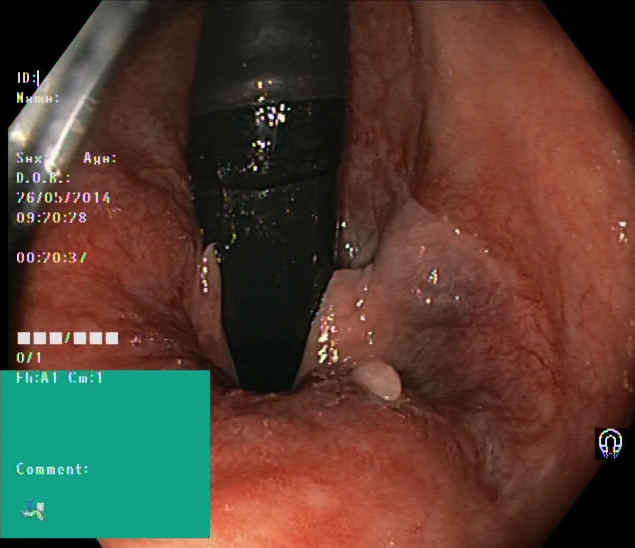Lower-GI endoscopy. Tract: lower GI tract. Finding: rectum in retroflexion.